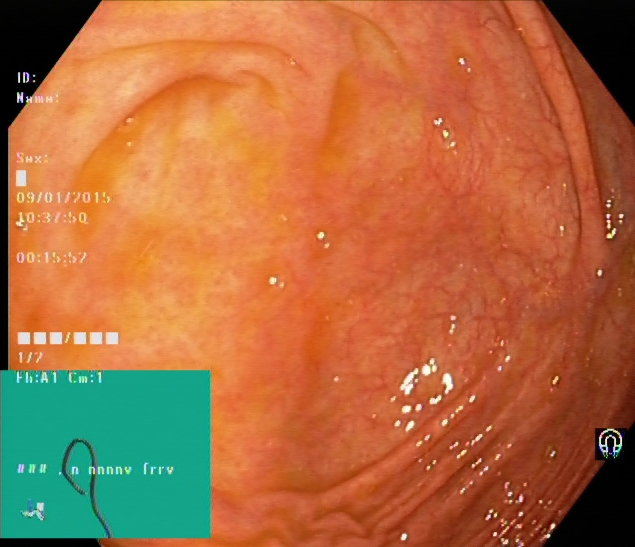Lower gastrointestinal endoscopy image of the lower GI tract showing cecum.